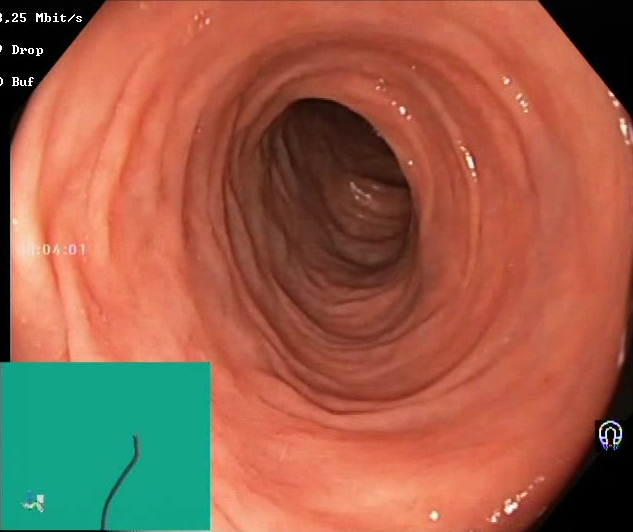Lower gastrointestinal endoscopy. Finding: Boston Bowel Preparation Scale score 2–3 (adequate preparation).